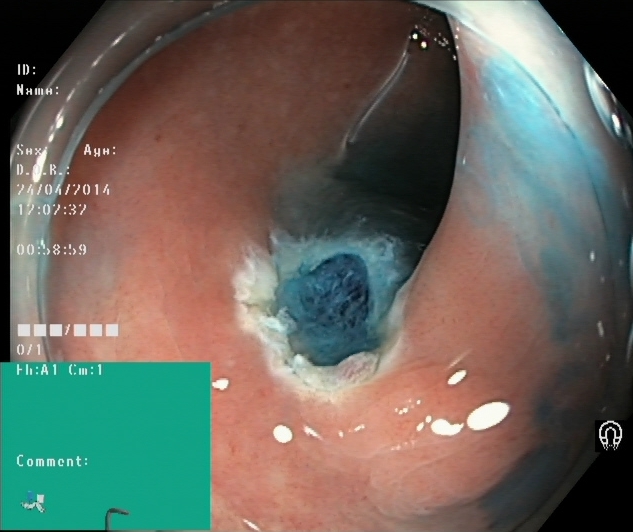Dyed resection margins (post-polypectomy).